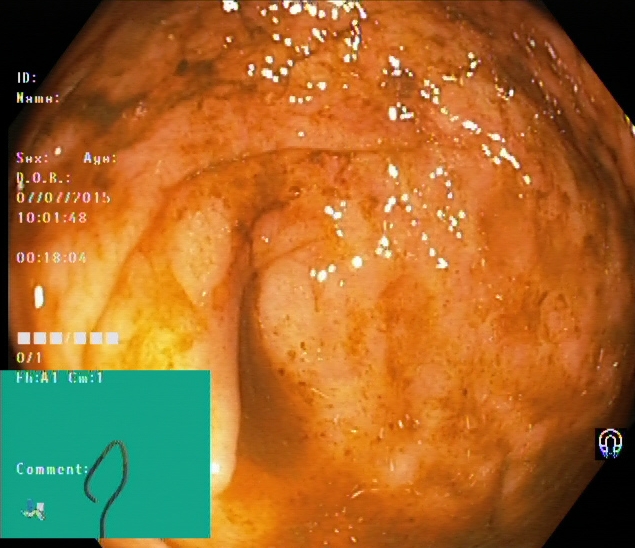Lower-GI endoscopy. Tract: lower GI tract. Anatomical landmark. Finding: cecum.